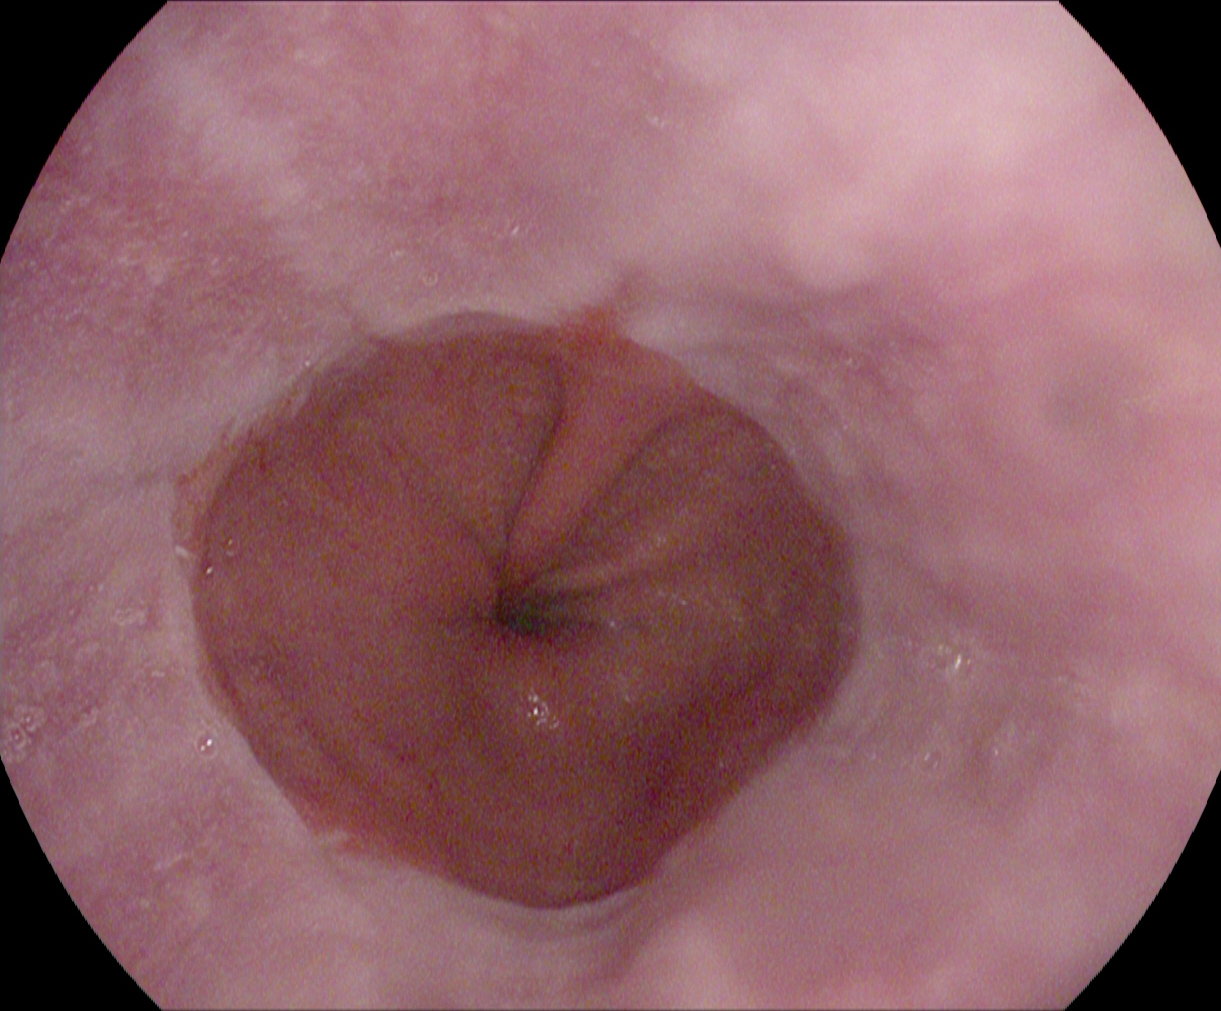Gastroscopy — reflux esophagitis, Los Angeles grade A.